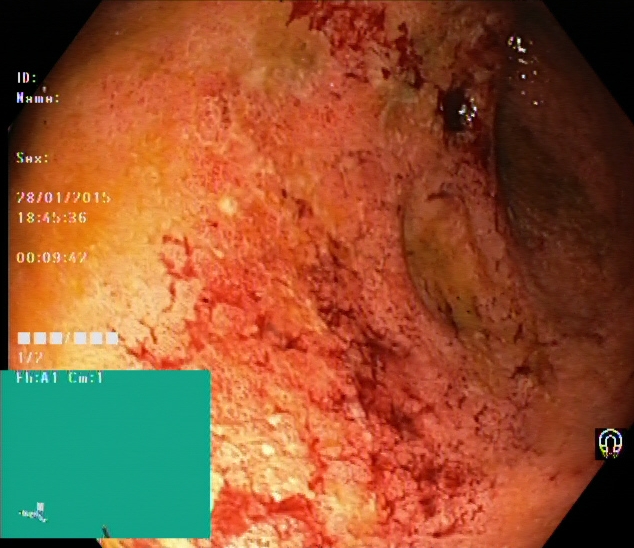Lower gastrointestinal endoscopy. Tract: lower GI tract. Pathological finding. Finding: ulcerative colitis, Mayo endoscopic subscore 3.